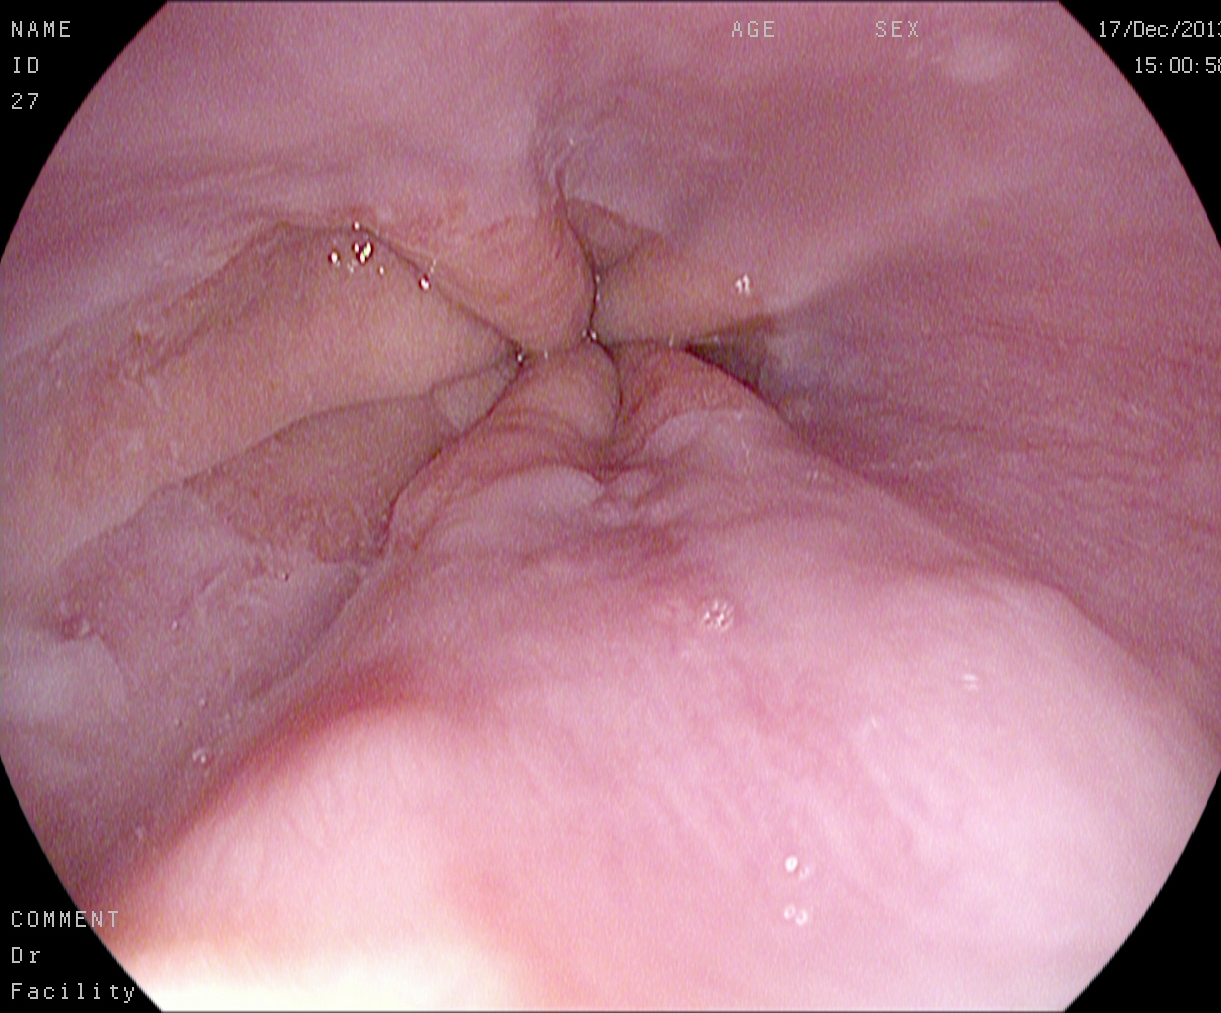Gastrointestinal endoscopy image showing Z-line (gastroesophageal junction).